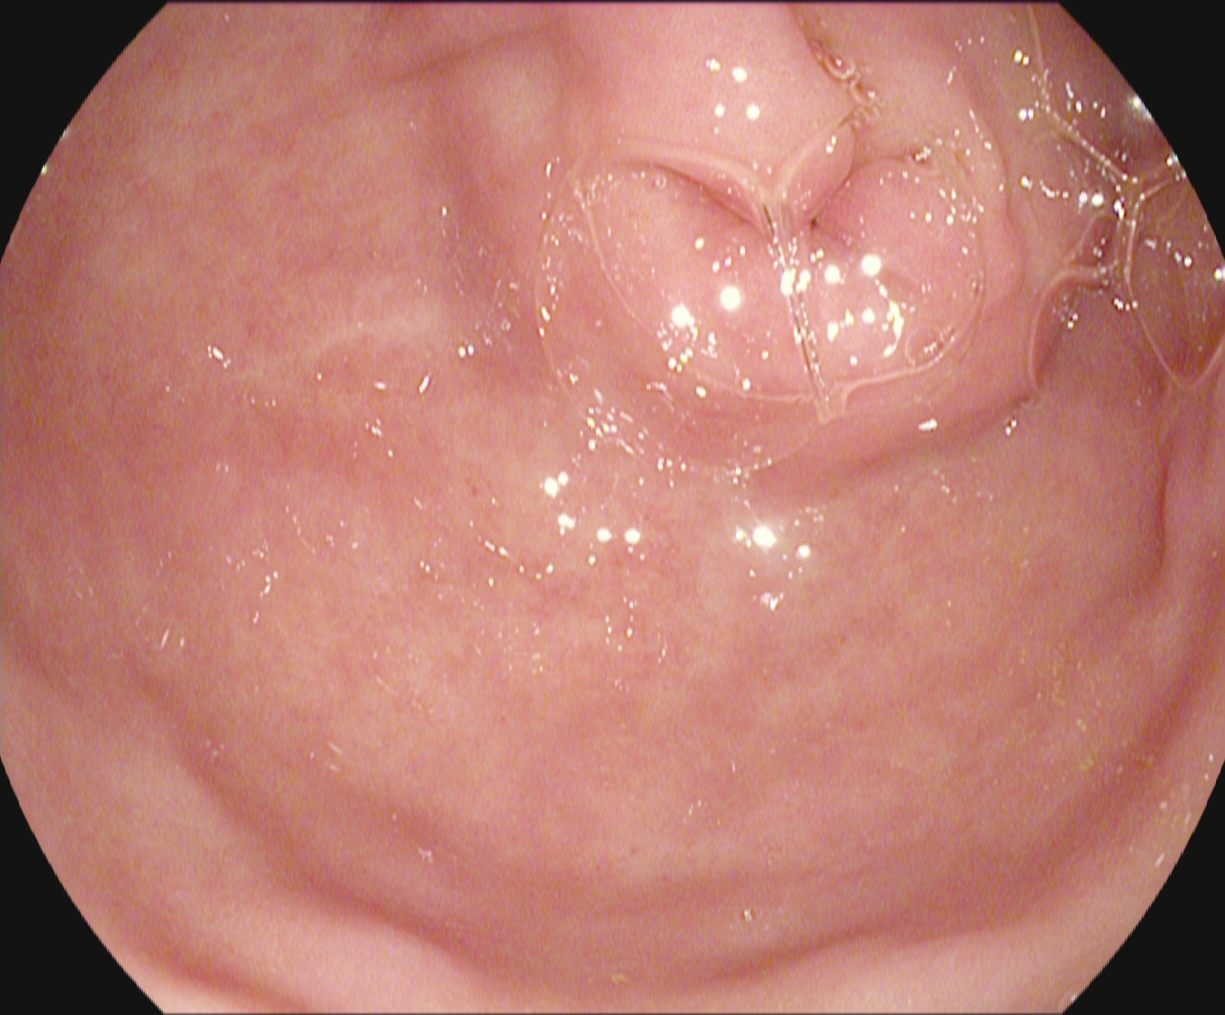EGD. Tract: upper GI tract. Anatomical landmark. Finding: pylorus.